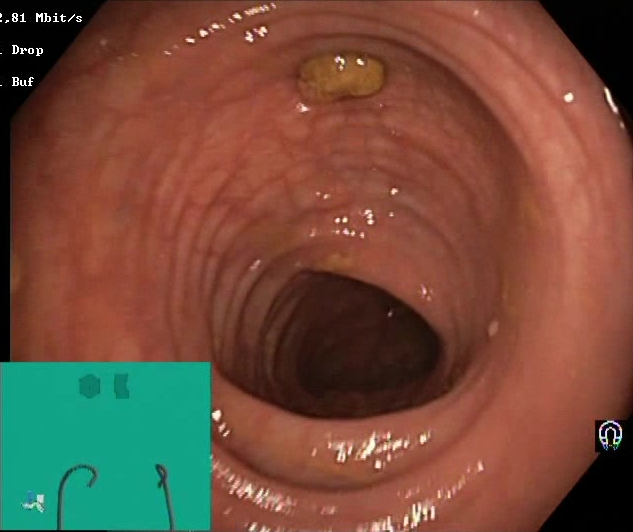PROCEDURE: Lower-GI endoscopy.
CATEGORY: Mucosal-view quality.
FINDINGS: Impacted stool.